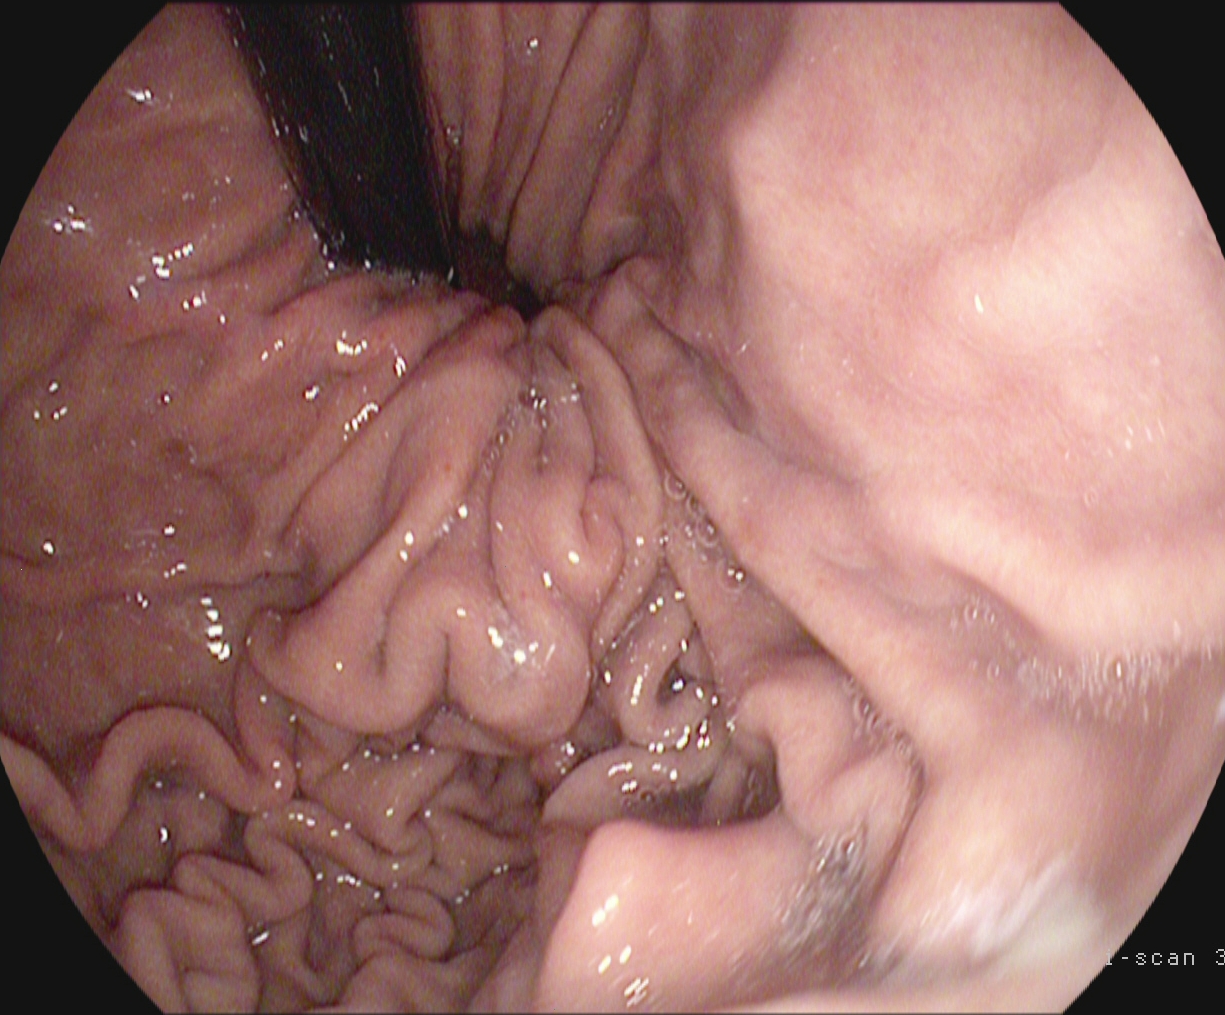Gastroscopy. Finding: stomach in retroflexion.